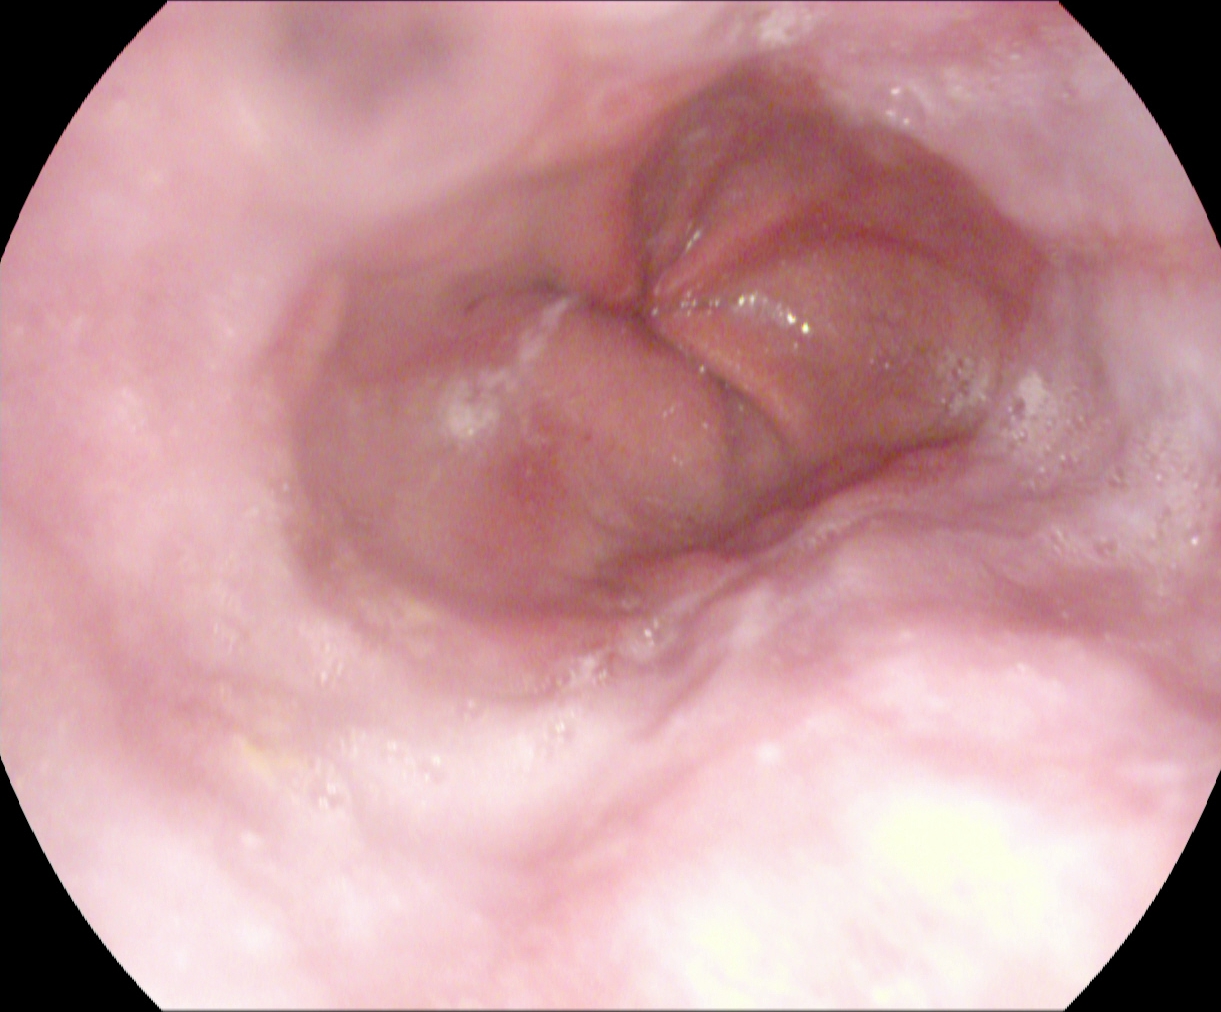{"modality": "upper-GI endoscopy", "category": "pathological finding", "finding": "reflux esophagitis, Los Angeles grade A"}